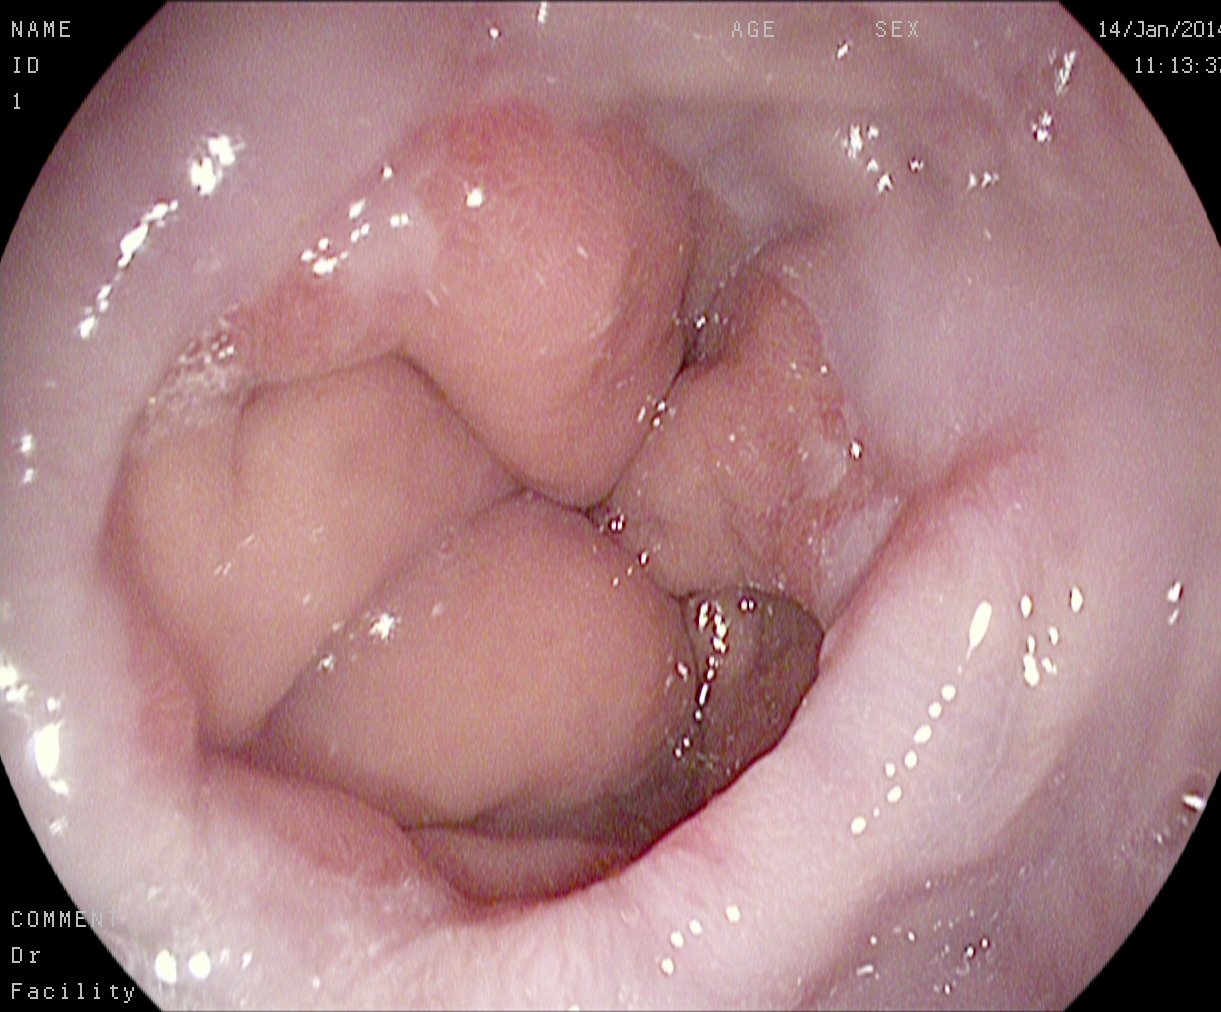{"modality": "gastroscopy", "tract": "upper GI tract", "finding": "reflux esophagitis, Los Angeles grade A"}